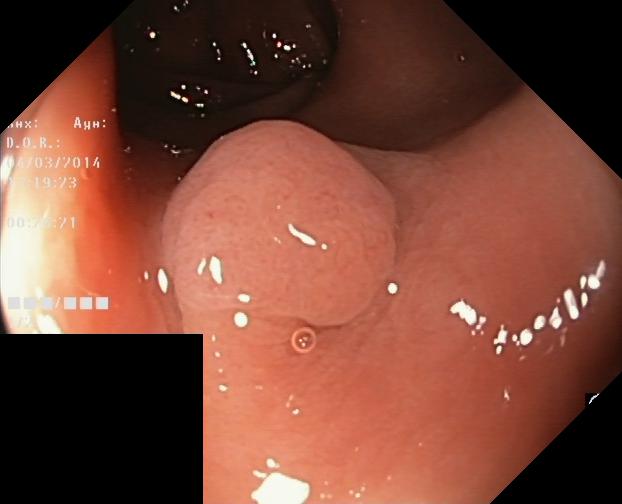PROCEDURE: Lower gastrointestinal endoscopy.
CATEGORY: Pathological finding.
FINDINGS: Colorectal polyp(s).